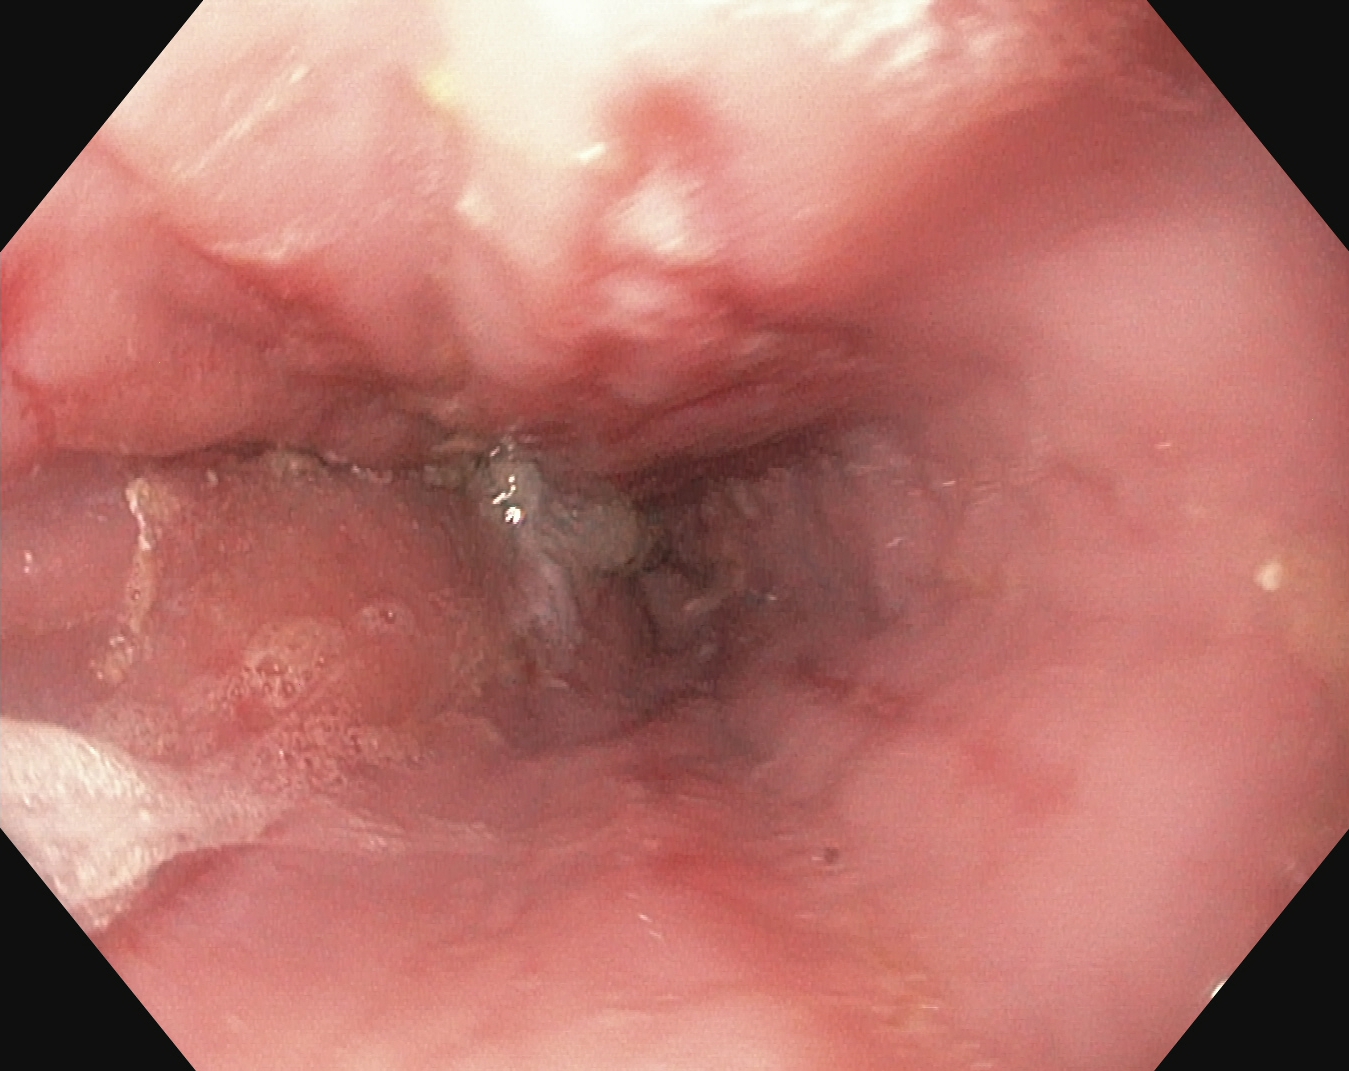EGD — reflux esophagitis, LA grade A.